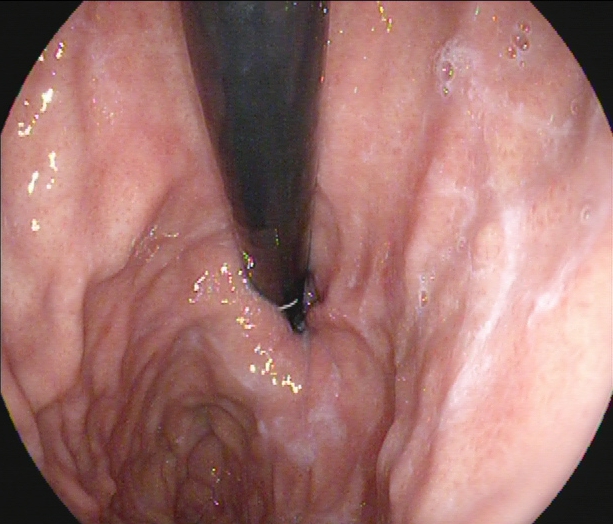EGD — stomach in retroflexion.